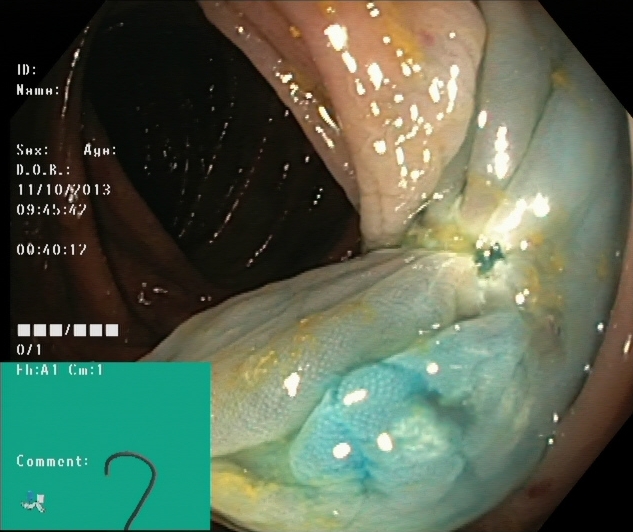Colonoscopy. Therapeutic intervention. Finding: dyed resection margins (post-polypectomy).